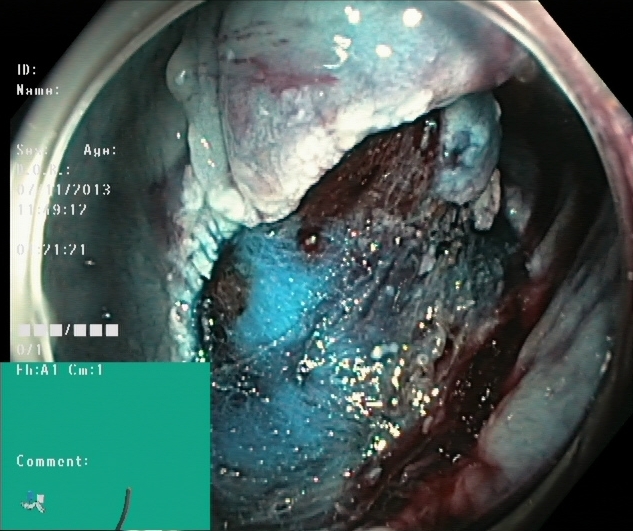Colonoscopy. Tract: lower GI tract. Therapeutic intervention. Finding: dyed resection margins (post-polypectomy).